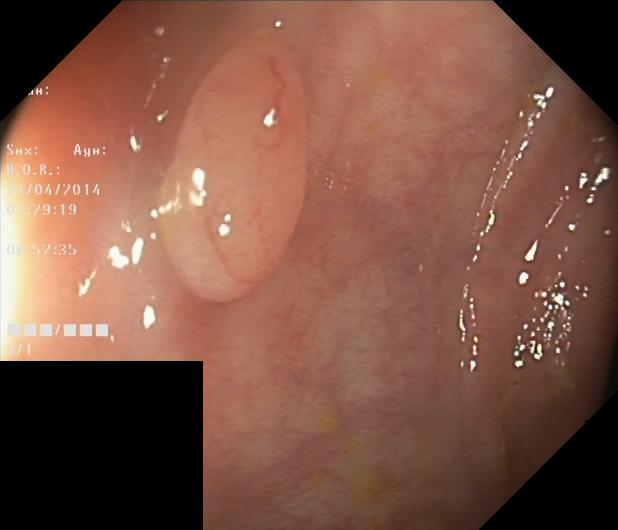{"modality": "lower gastrointestinal endoscopy", "tract": "lower GI tract", "finding": "colorectal polyp(s)"}